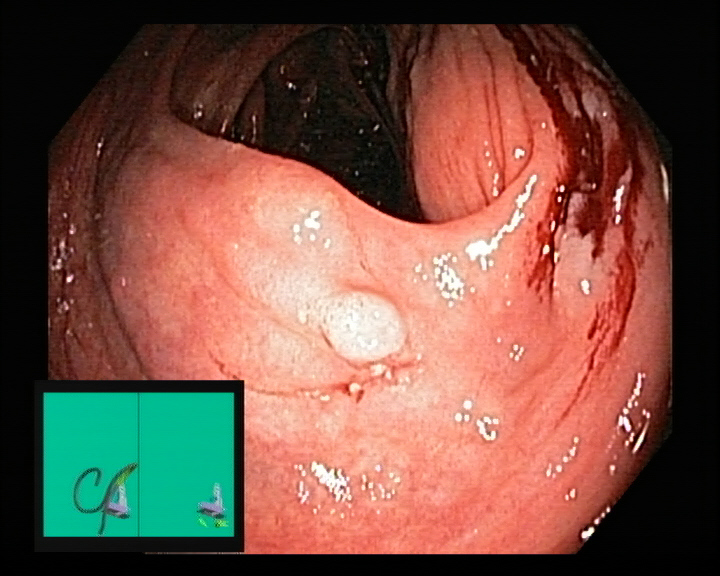Colorectal polyp(s).